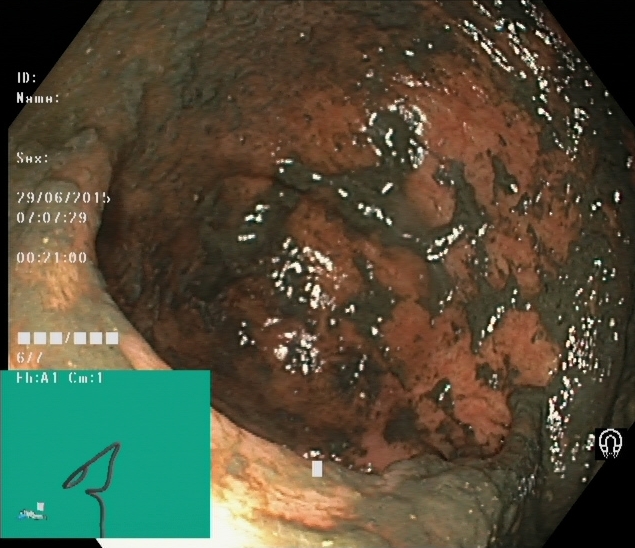{"modality": "lower gastrointestinal endoscopy", "tract": "lower GI tract", "category": "mucosal-view quality", "finding": "BBPS score 0\u20131 (inadequate preparation)"}